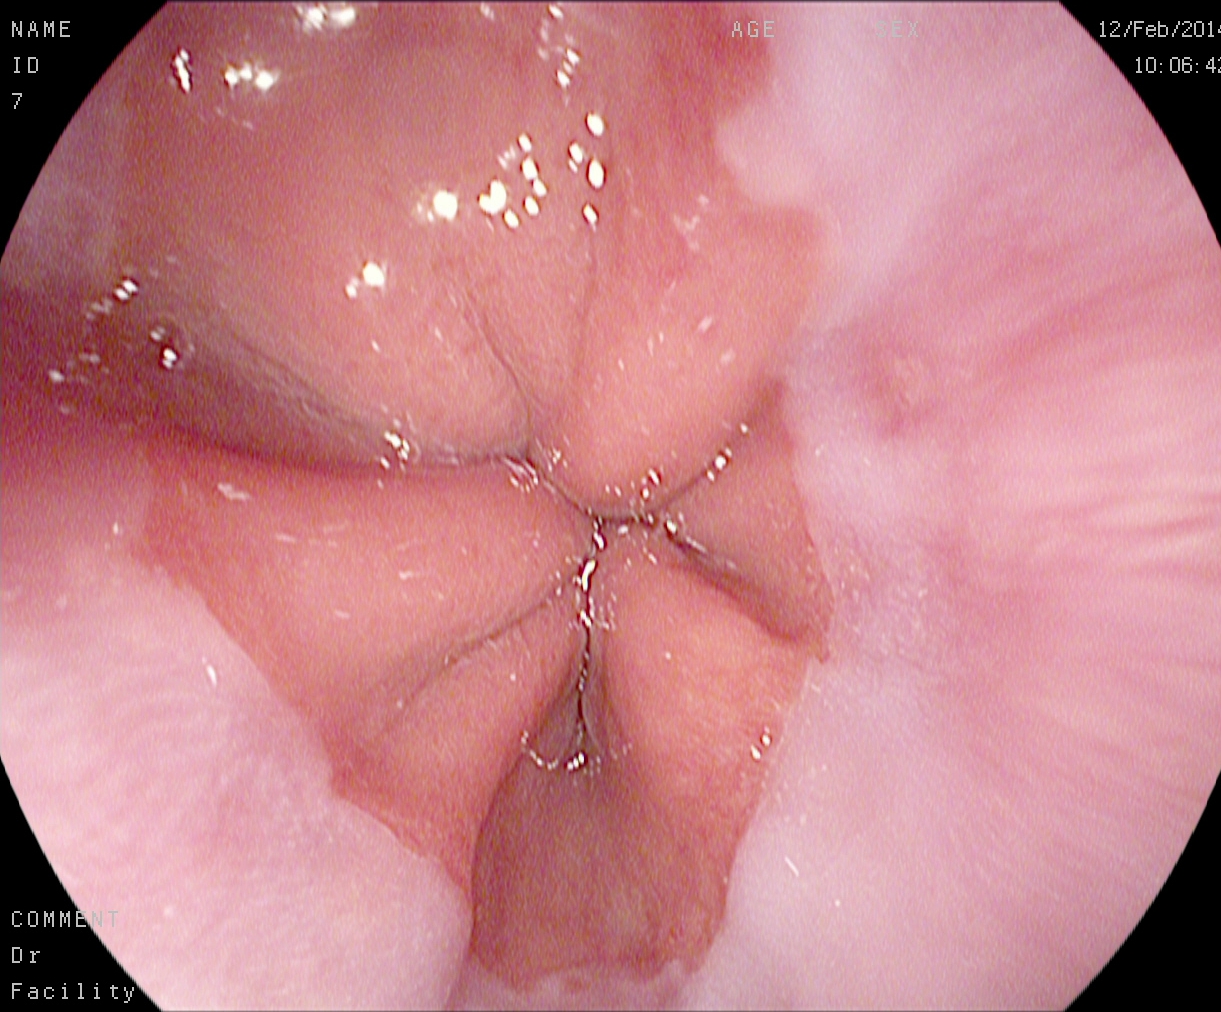GI endoscopy image showing reflux esophagitis, Los Angeles grade A.